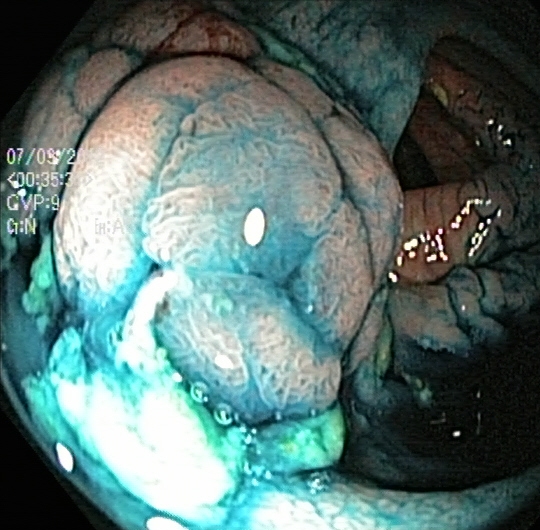PROCEDURE: Colonoscopy.
FINDINGS: Dyed and lifted polyp (pre-resection).